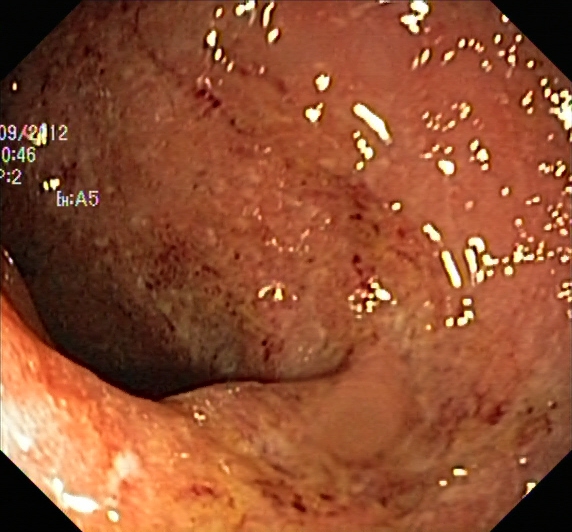This endoscopy frame shows ulcerative colitis, Mayo endoscopic subscore 2.